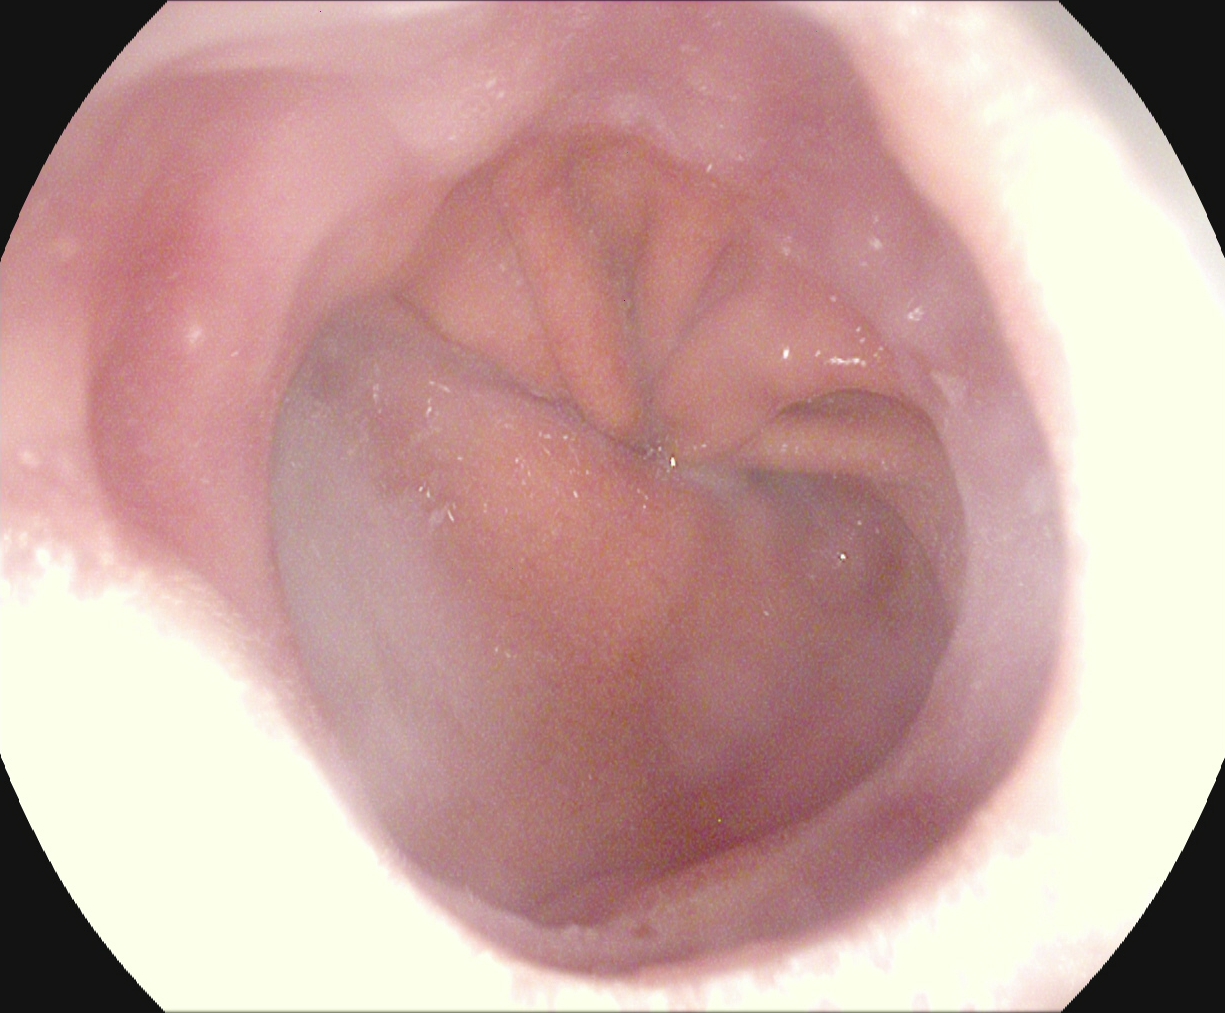This endoscopy frame of the upper GI tract shows Z-line (gastroesophageal junction).